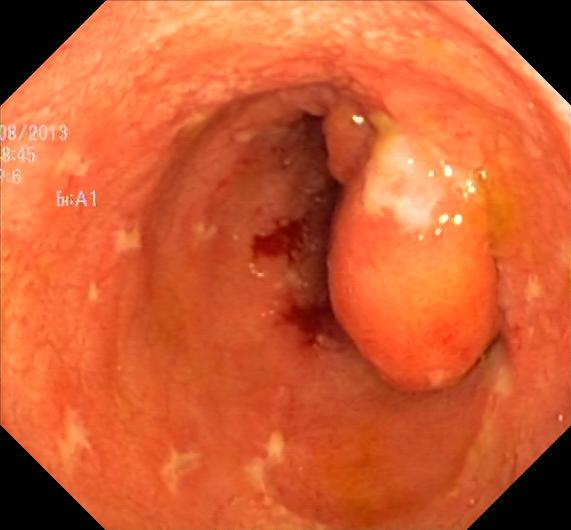Colorectal polyp(s).